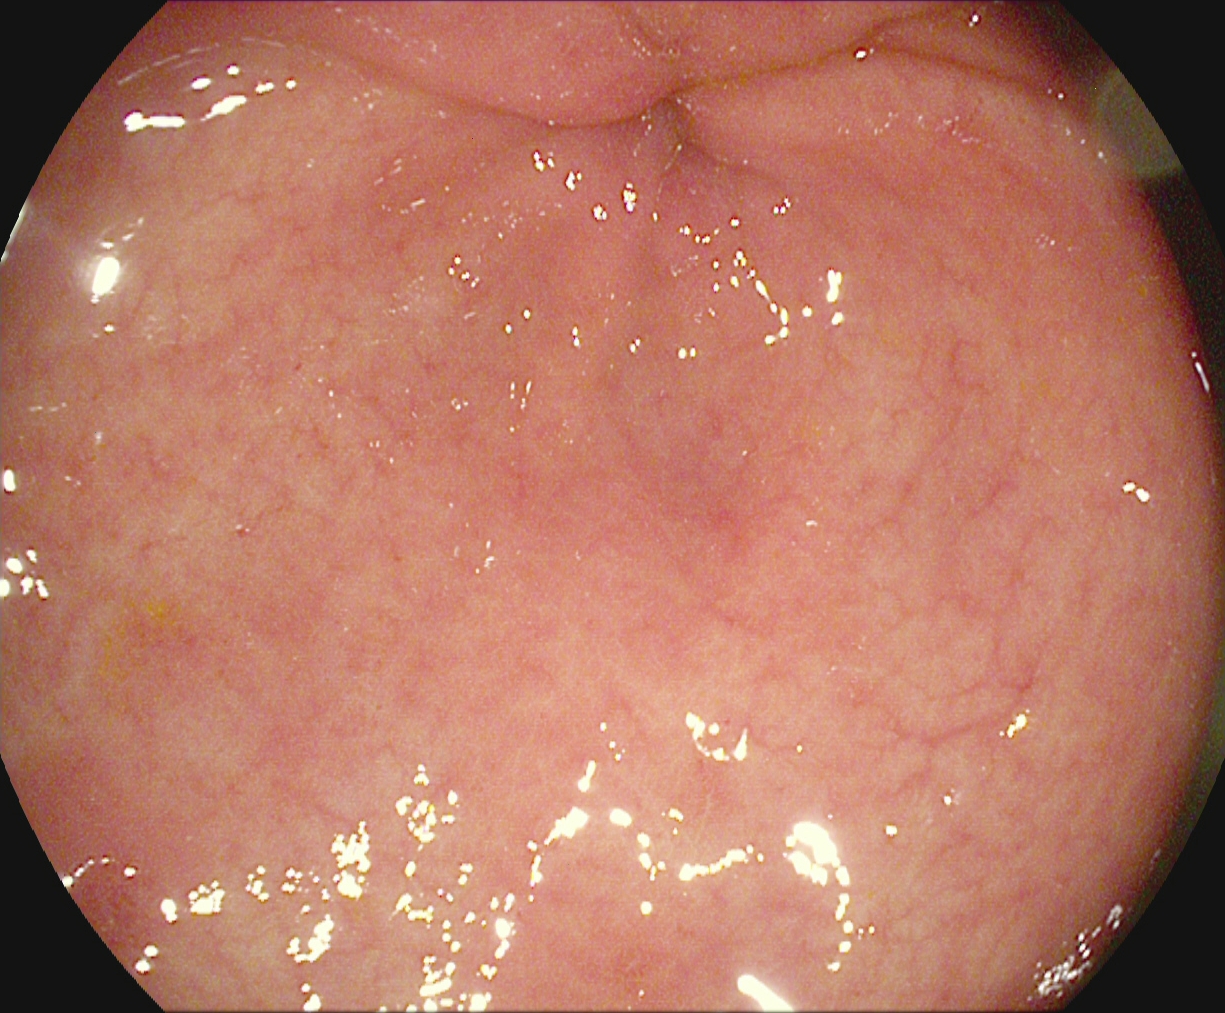{"modality": "upper-GI endoscopy", "finding": "pylorus"}